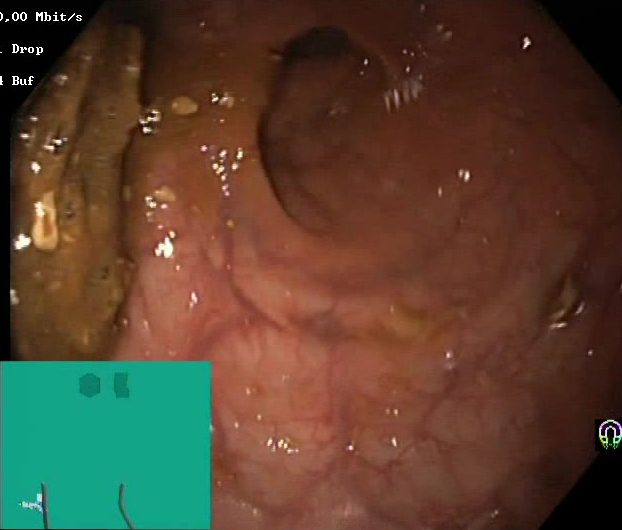Boston Bowel Preparation Scale score 0–1 (inadequate preparation).